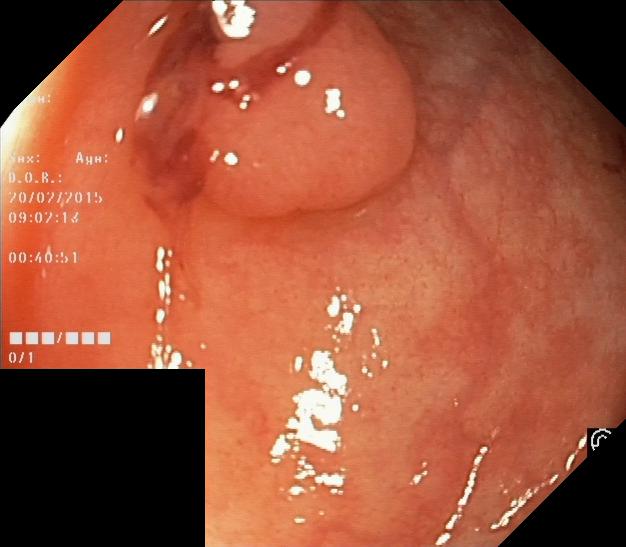Colonoscopy — colorectal polyp(s).